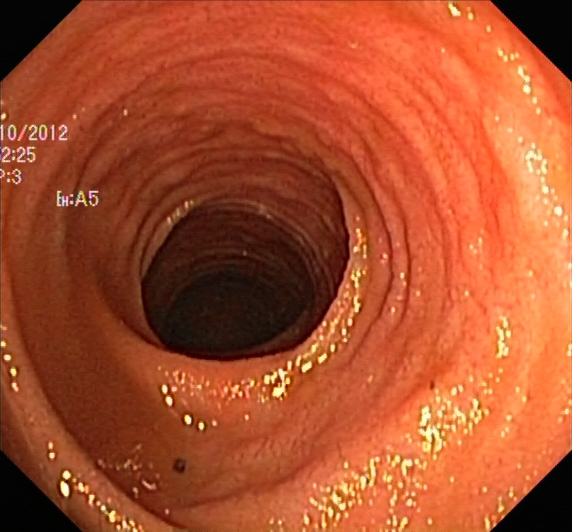{"modality": "colonoscopy", "category": "anatomical landmark", "finding": "terminal ileum"}